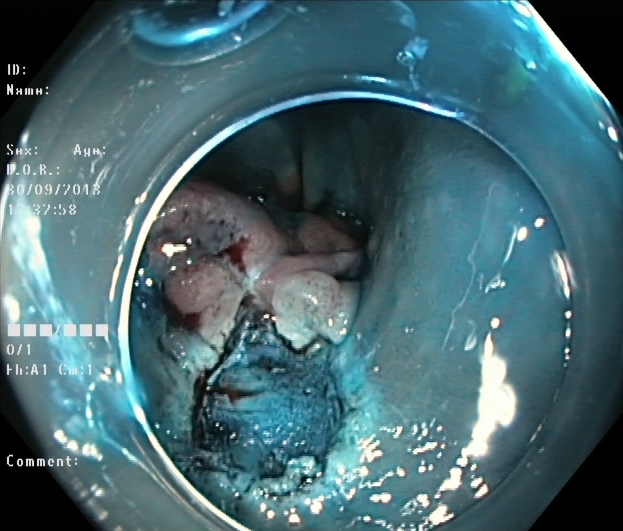This endoscopic image shows dyed resection margins (post-polypectomy).